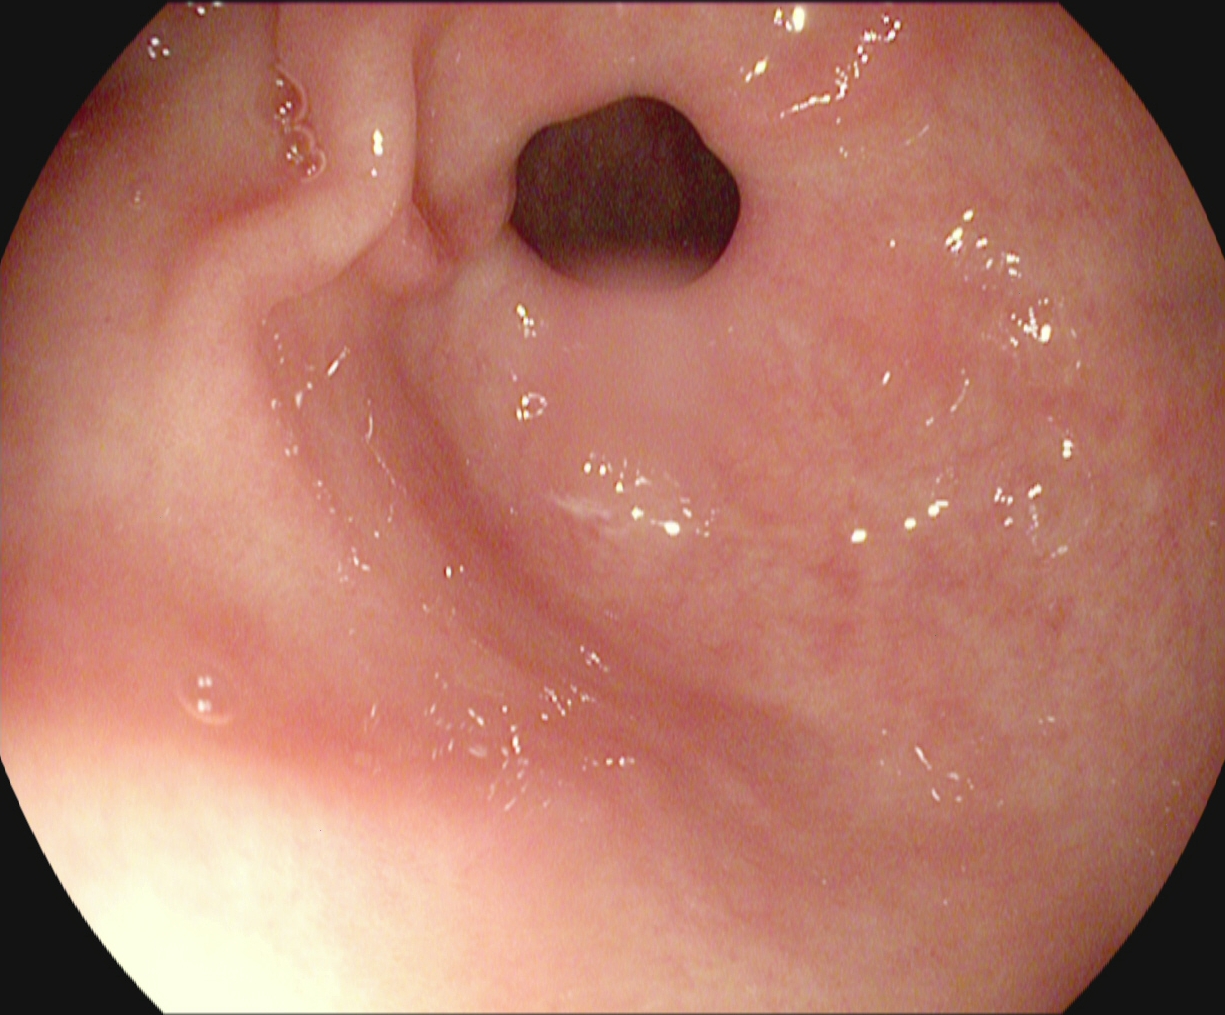{"modality": "gastroscopy", "tract": "upper GI tract", "category": "anatomical landmark", "finding": "pylorus"}